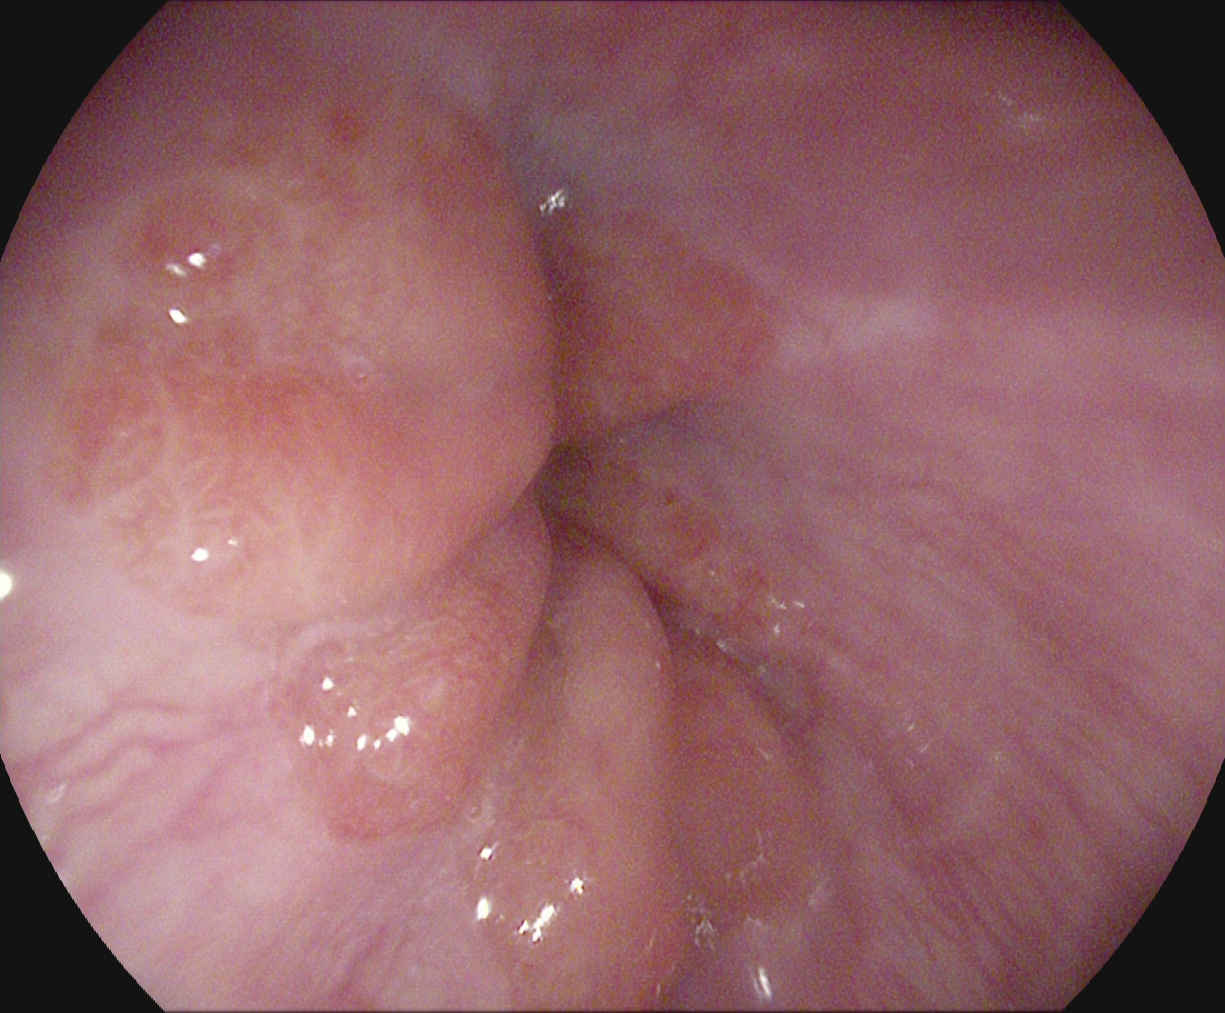Endoscopic image showing Z-line (gastroesophageal junction).